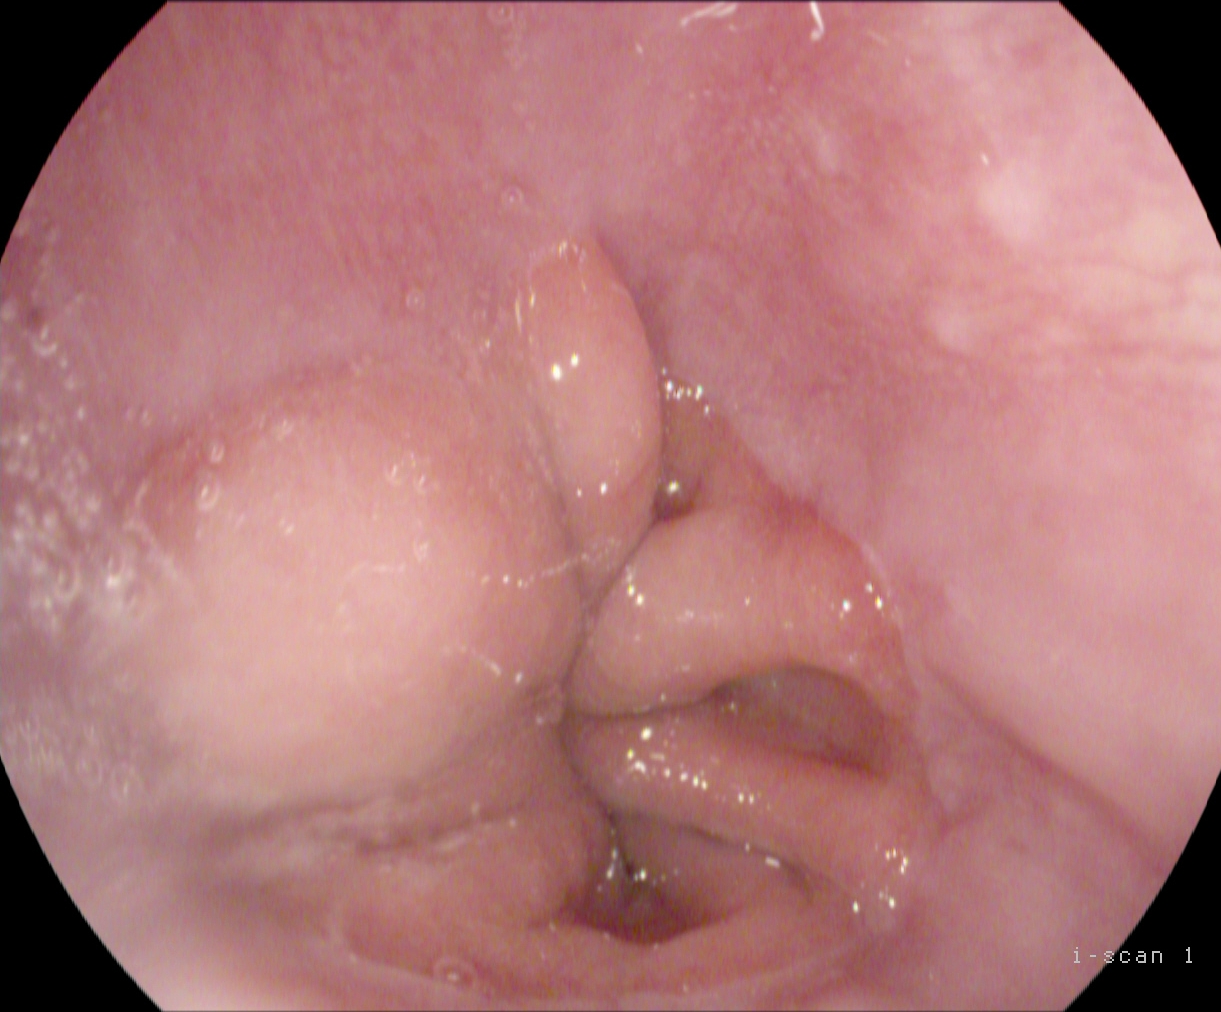modality: gastroscopy
tract: upper GI tract
category: anatomical landmark
finding: Z-line (gastroesophageal junction)